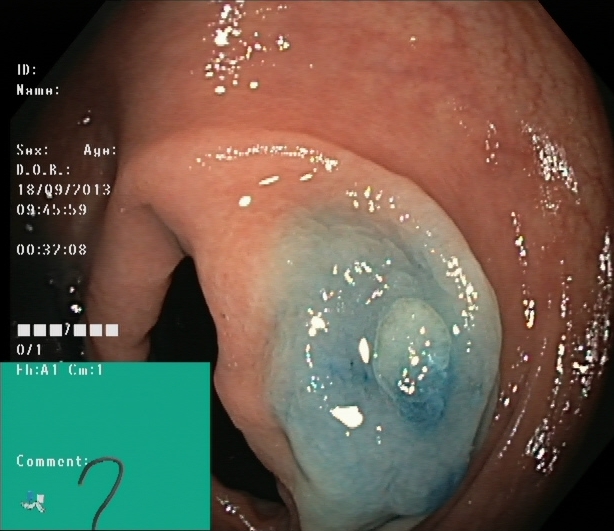Lower gastrointestinal endoscopy — dyed and lifted polyp (pre-resection).